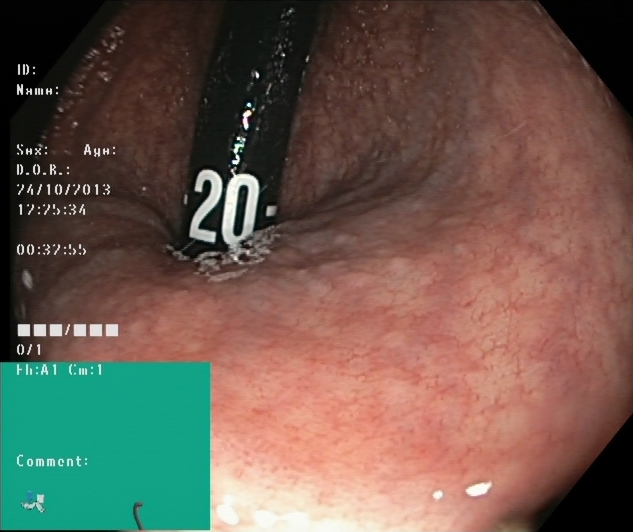This endoscopic image shows rectum in retroflexion.